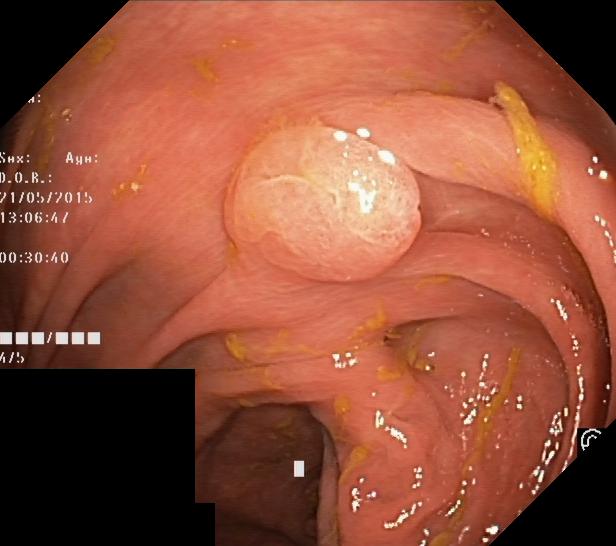Colonoscopy. Tract: lower GI tract. Finding: colorectal polyp(s).